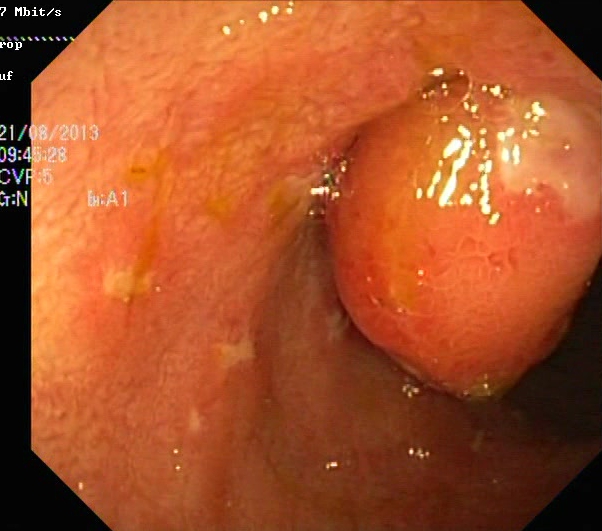{"modality": "colonoscopy", "tract": "lower GI tract", "category": "pathological finding", "finding": "ulcerative colitis, Mayo endoscopic subscore 1"}